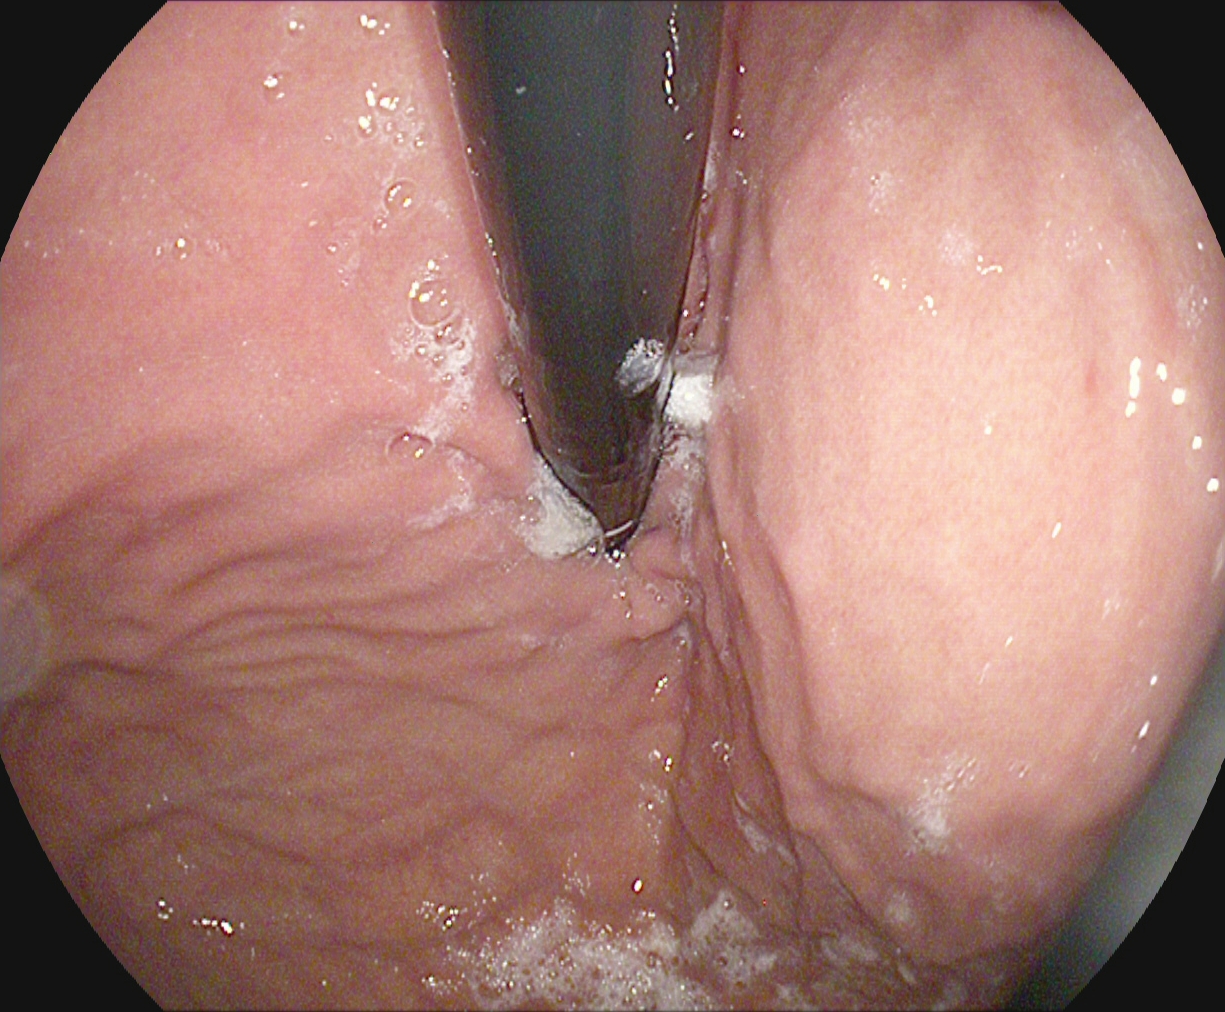This endoscopic image of the upper GI tract shows stomach in retroflexion.